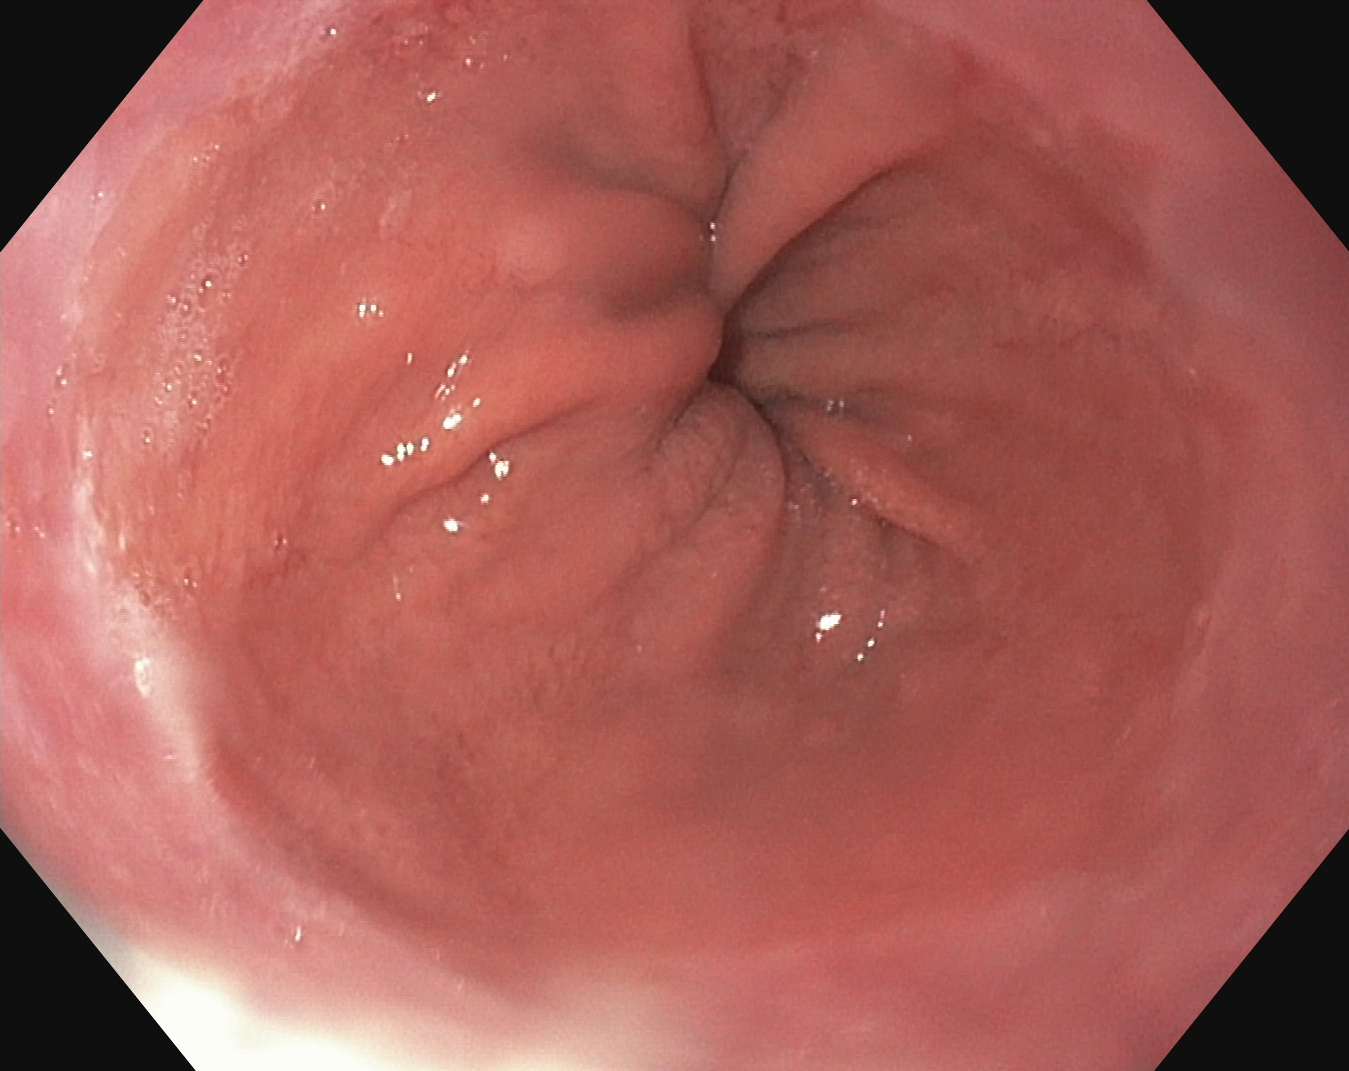Upper-GI endoscopy. Tract: upper GI tract. Finding: Z-line (gastroesophageal junction).